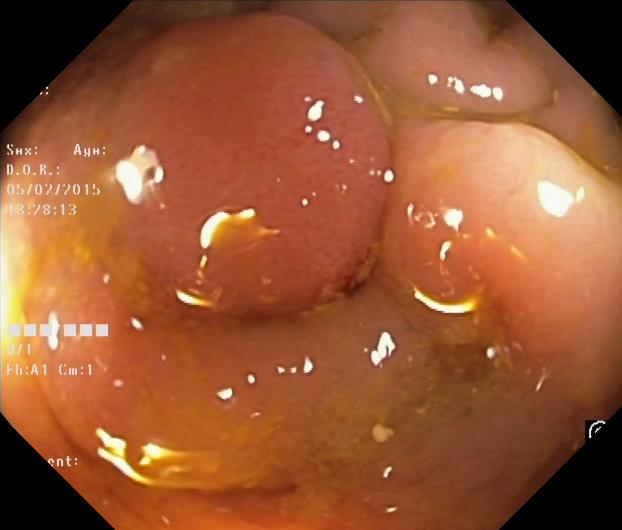PROCEDURE: Lower-GI endoscopy.
CATEGORY: Pathological finding.
FINDINGS: Colorectal polyp(s).